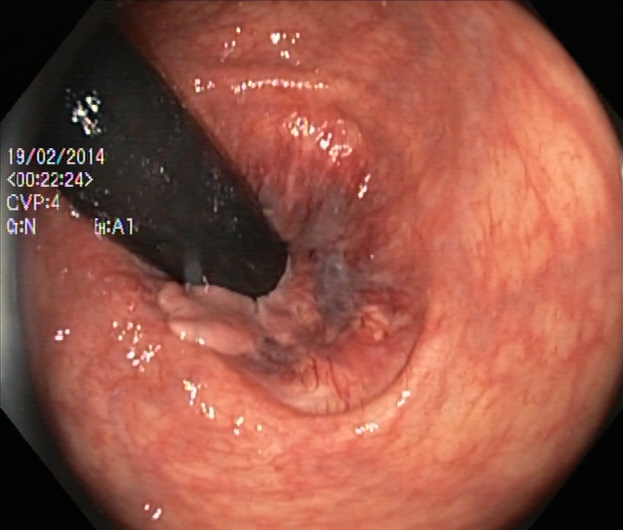modality: colonoscopy | finding: rectum in retroflexion